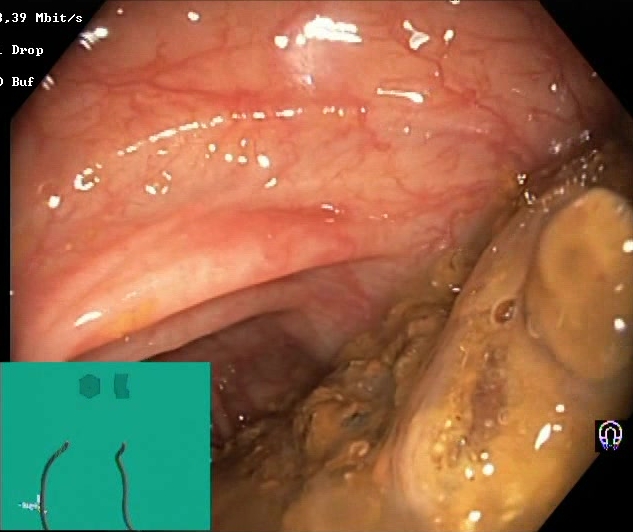Colonoscopy. Tract: lower GI tract. Mucosal-view quality. Finding: Boston Bowel Preparation Scale score 0–1 (inadequate preparation).